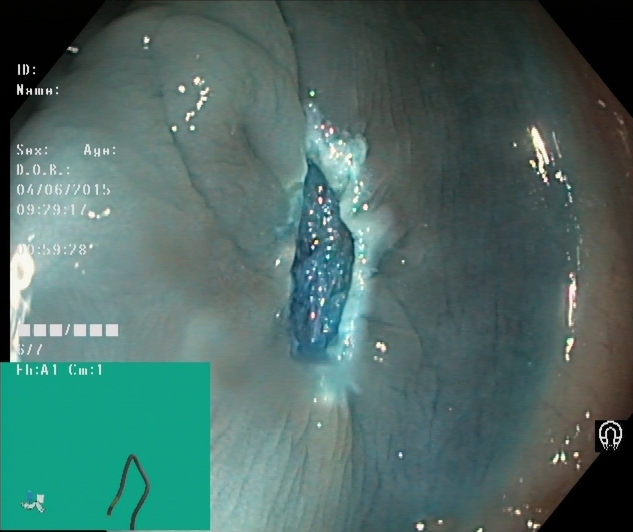dyed resection margins (post-polypectomy).